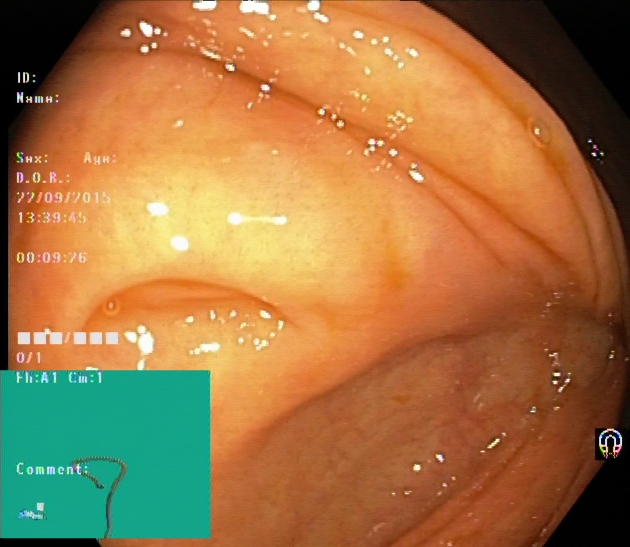Endoscopy image of the lower GI tract showing cecum.